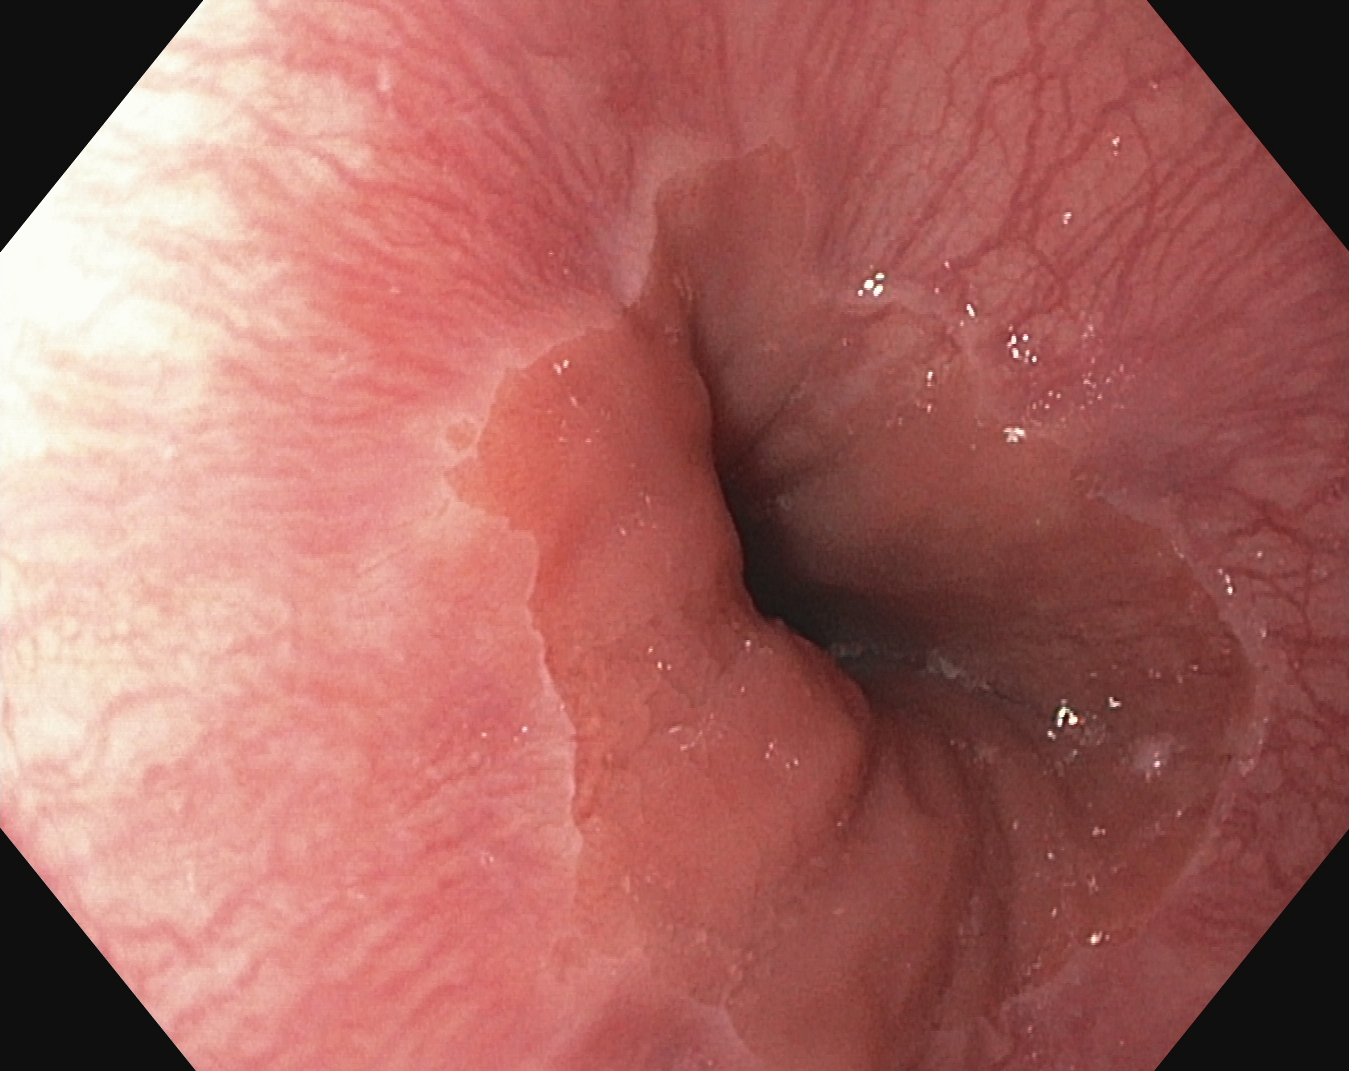{"modality": "esophagogastroduodenoscopy", "finding": "Z-line (gastroesophageal junction)"}